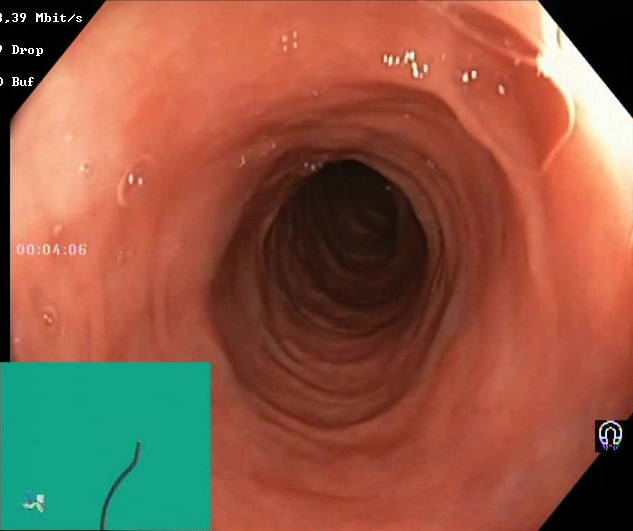{"modality": "lower gastrointestinal endoscopy", "tract": "lower GI tract", "finding": "Boston Bowel Preparation Scale score 2\u20133 (adequate preparation)"}